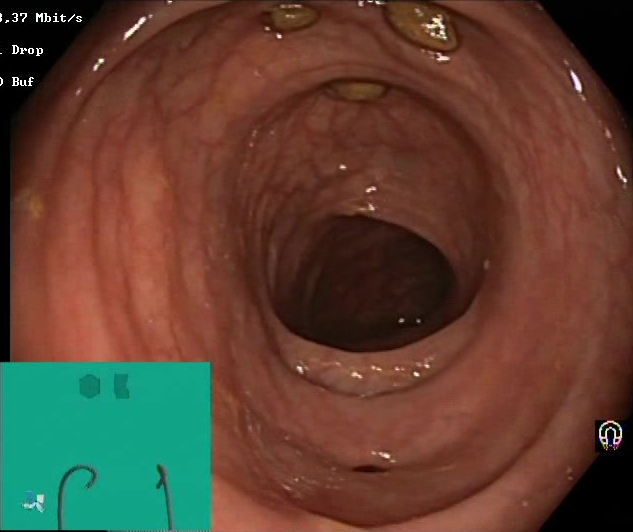PROCEDURE: Lower gastrointestinal endoscopy.
FINDINGS: Impacted stool.